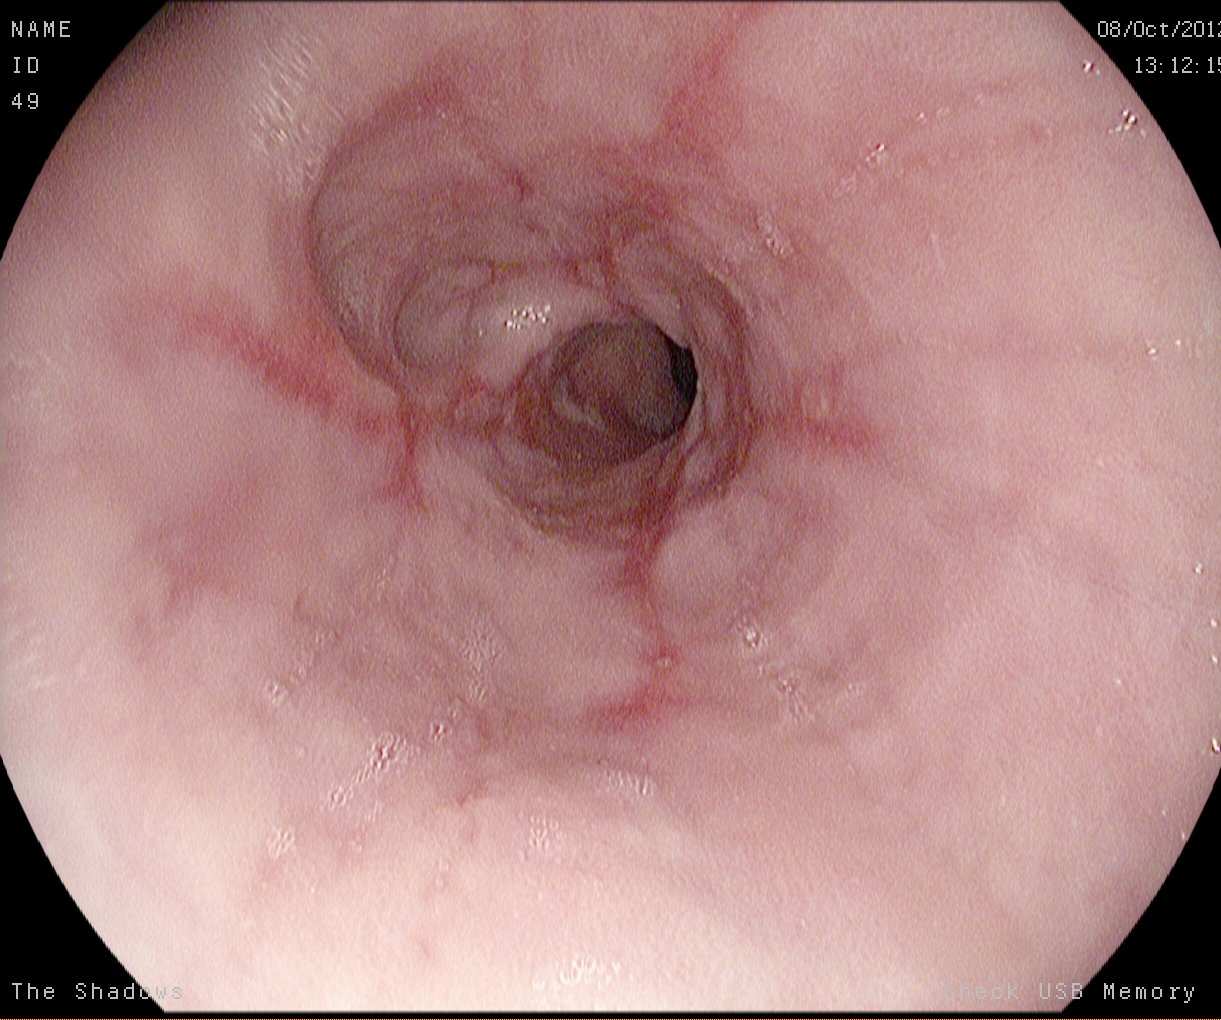{"modality": "gastroscopy", "tract": "upper GI tract", "category": "pathological finding", "finding": "reflux esophagitis, Los Angeles grade B\u2013D"}